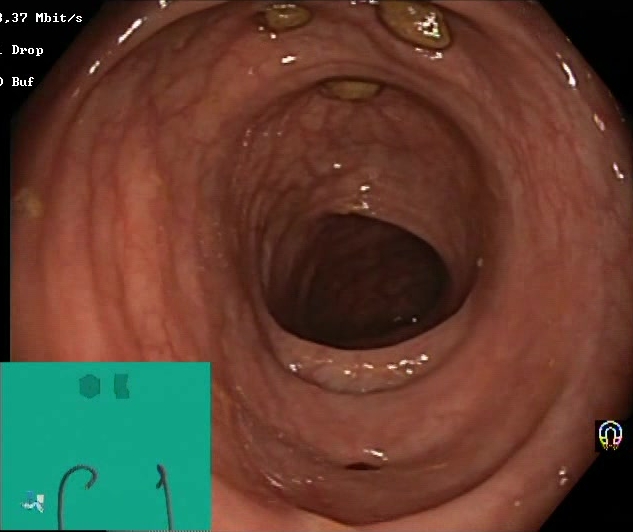This endoscopic image of the lower GI tract shows impacted stool.